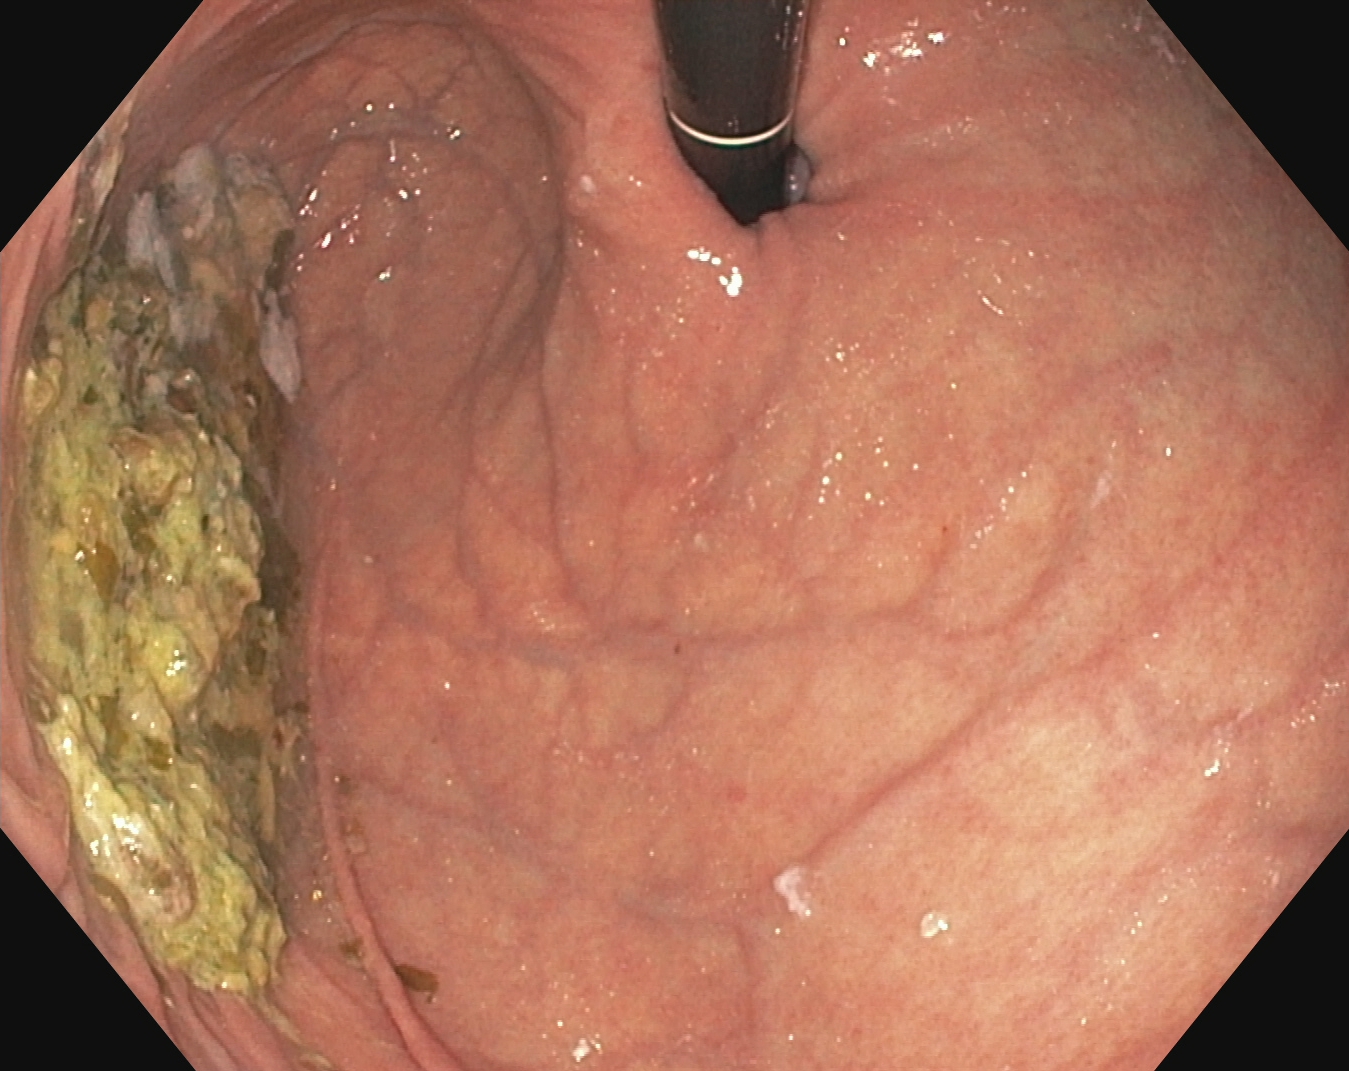{"modality": "esophagogastroduodenoscopy", "category": "anatomical landmark", "finding": "stomach in retroflexion"}